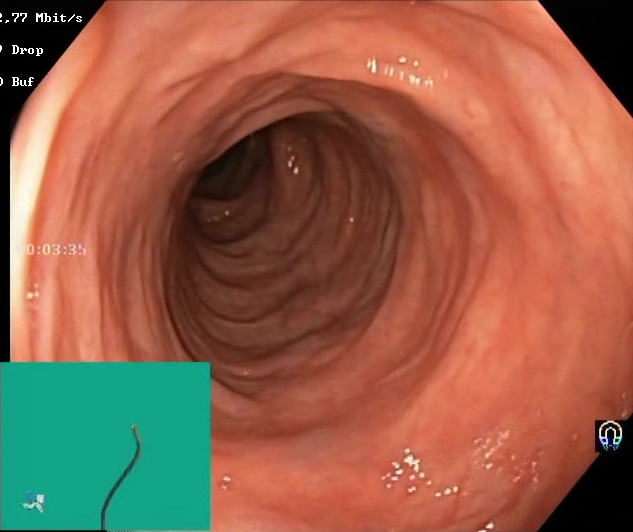{"modality": "colonoscopy", "finding": "BBPS score 2\u20133 (adequate preparation)"}